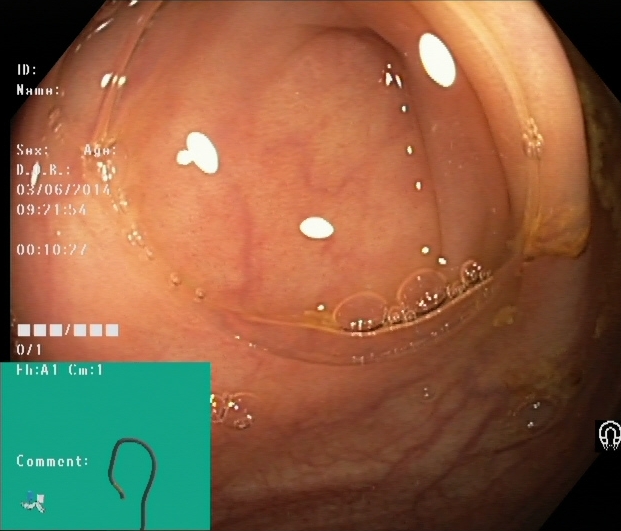Cecum.